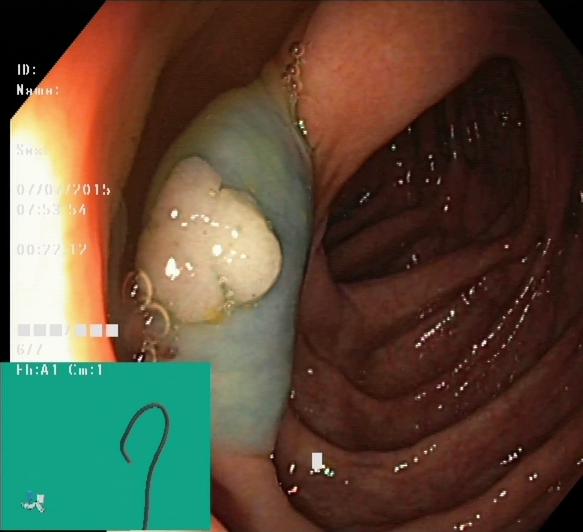modality: lower gastrointestinal endoscopy
category: therapeutic intervention
finding: dyed and lifted polyp (pre-resection)